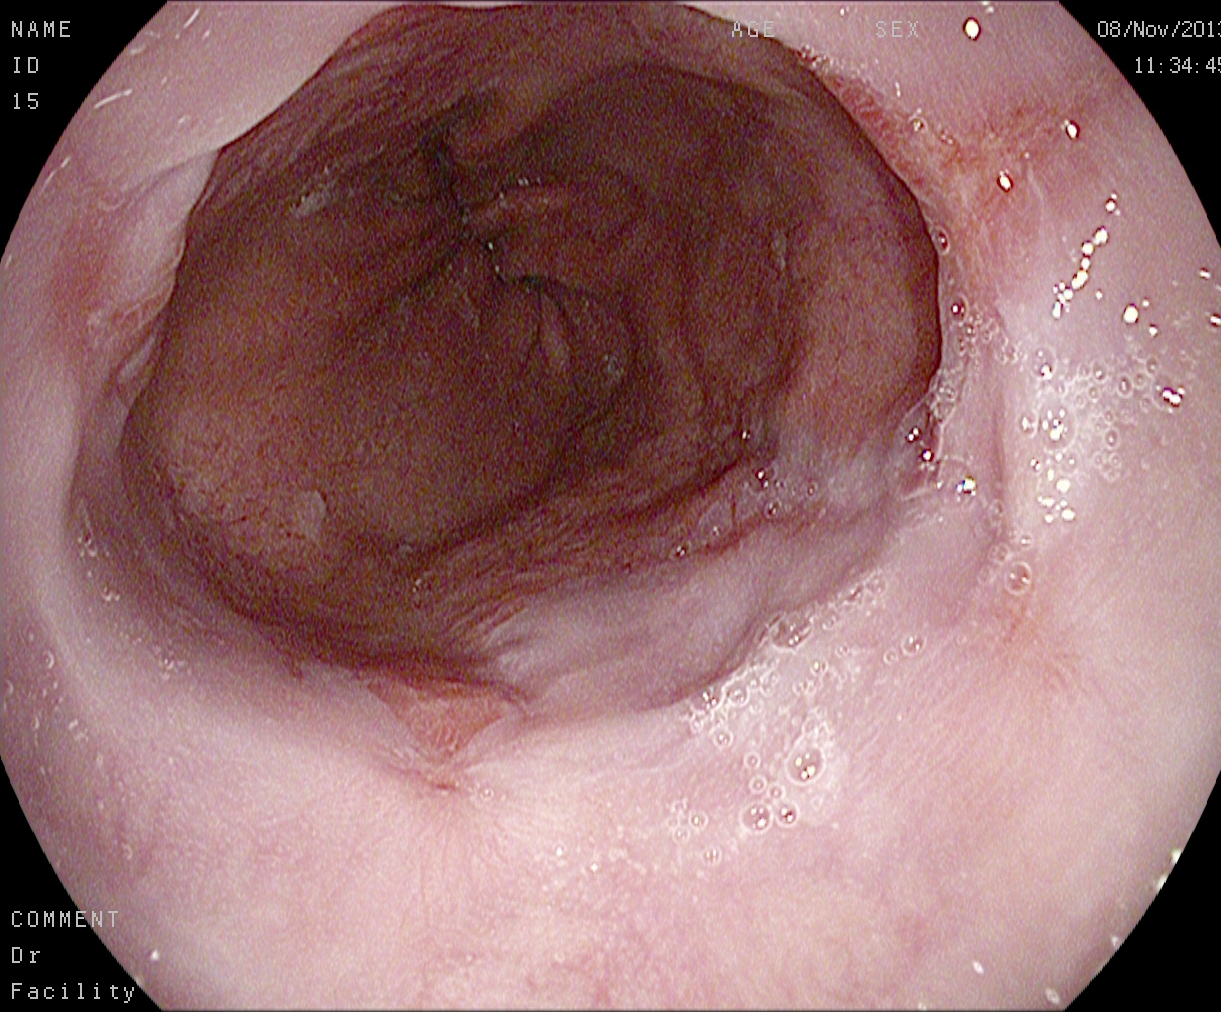modality: esophagogastroduodenoscopy
tract: upper GI tract
category: pathological finding
finding: reflux esophagitis, Los Angeles grade B–D